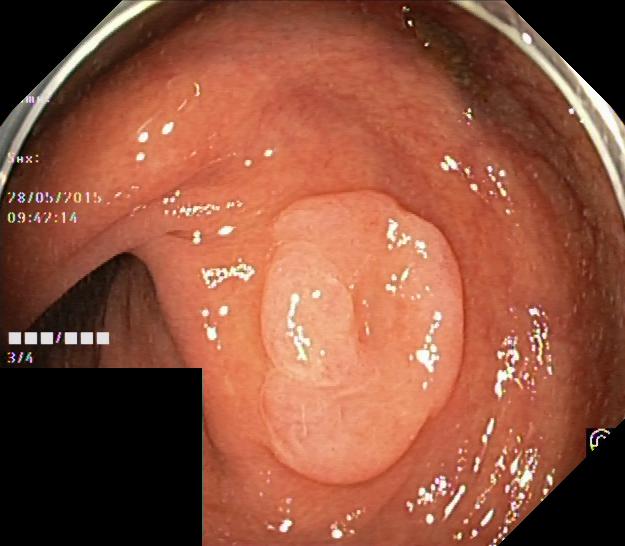Colonoscopy — colorectal polyp(s).